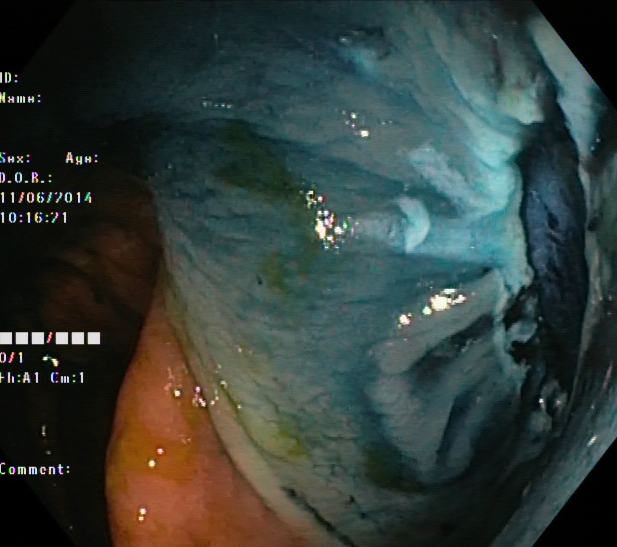PROCEDURE: Lower gastrointestinal endoscopy.
FINDINGS: Dyed resection margins (post-polypectomy).